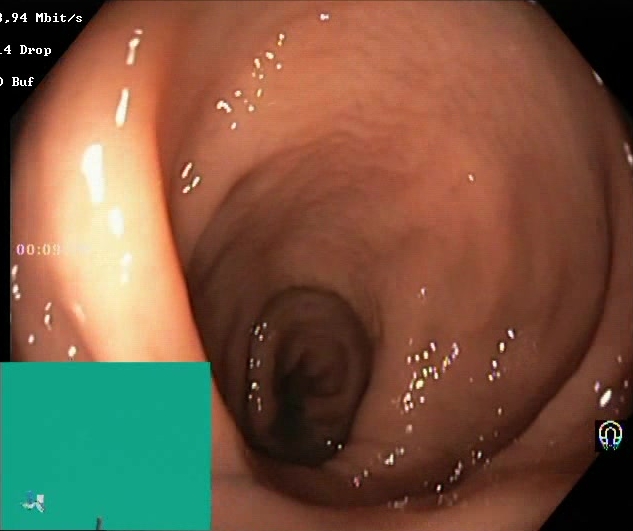Lower-GI endoscopy. Tract: lower GI tract. Mucosal-view quality. Finding: Boston Bowel Preparation Scale score 2–3 (adequate preparation).